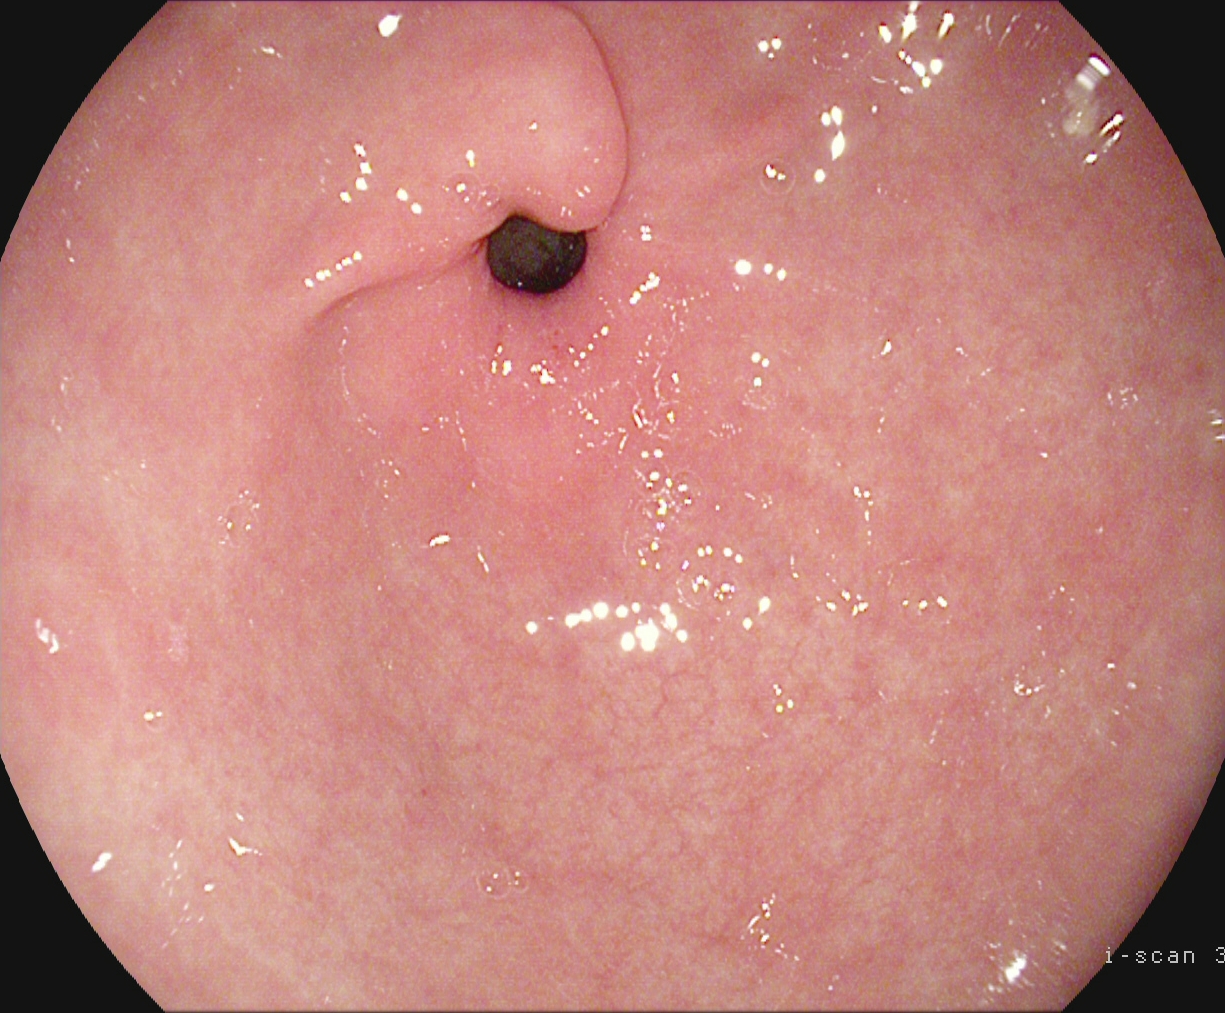PROCEDURE: Esophagogastroduodenoscopy.
FINDINGS: Pylorus.